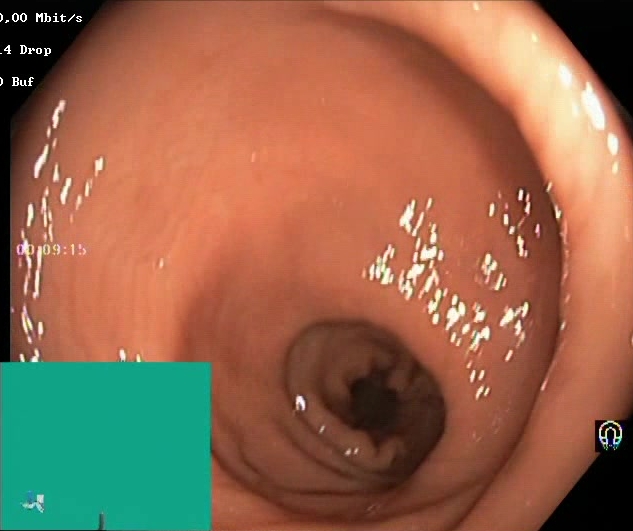Lower-GI endoscopy — BBPS score 2–3 (adequate preparation).